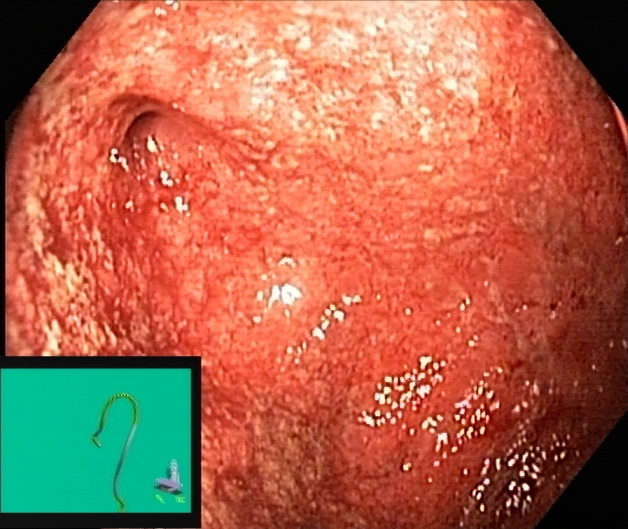PROCEDURE: Colonoscopy.
FINDINGS: Ulcerative colitis, Mayo endoscopic subscore 3.